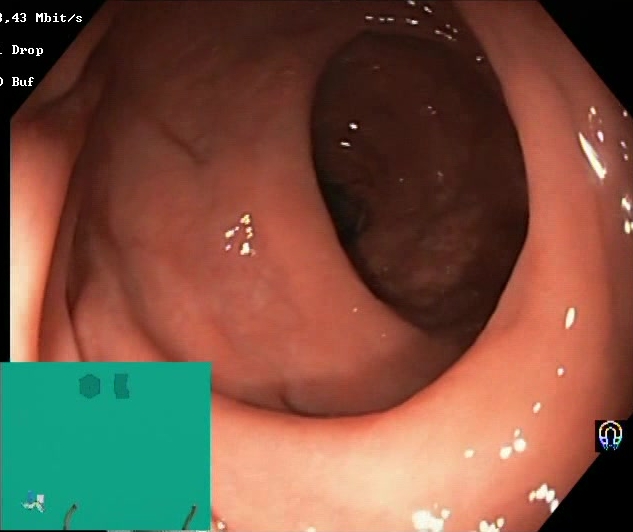Boston Bowel Preparation Scale score 2–3 (adequate preparation).